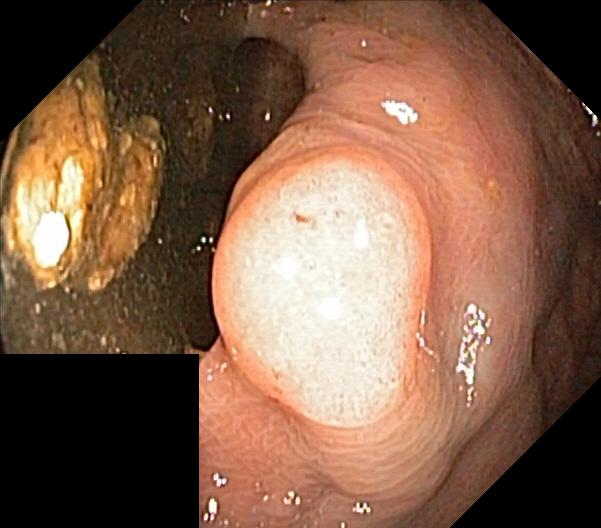Colorectal polyp(s).